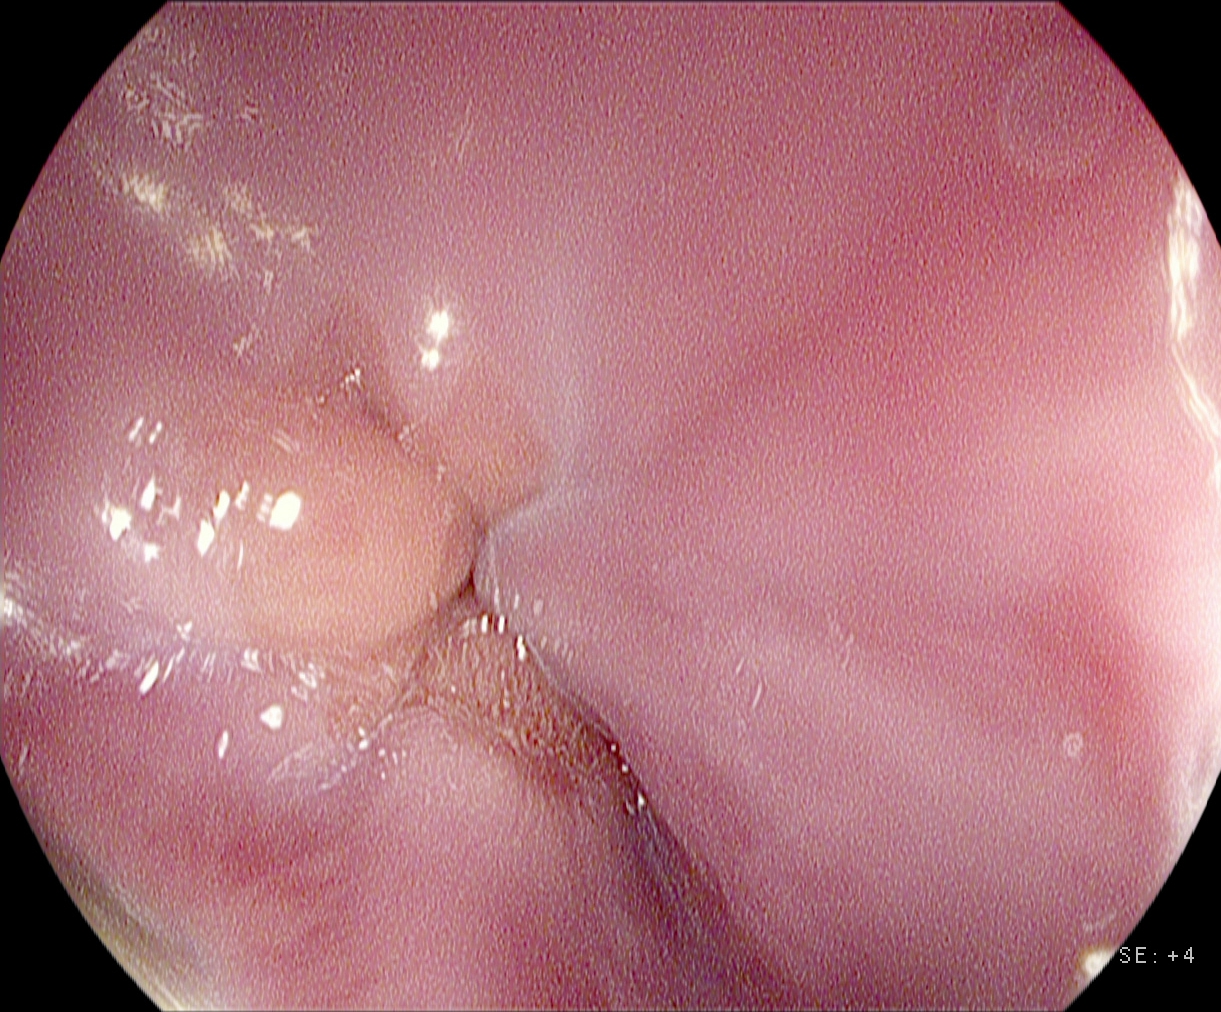PROCEDURE: Esophagogastroduodenoscopy.
FINDINGS: Z-line (gastroesophageal junction).